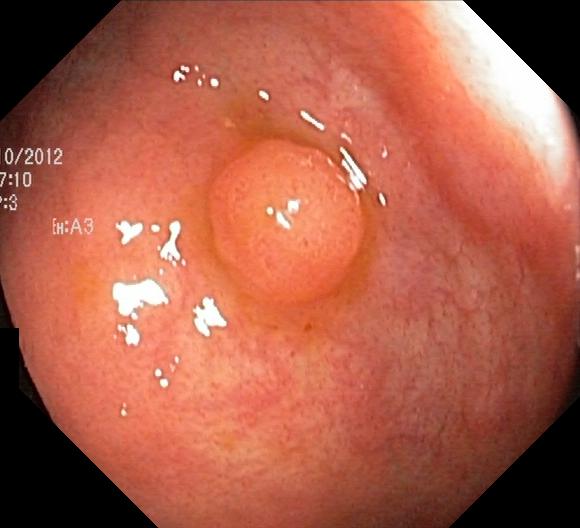Colorectal polyp(s).